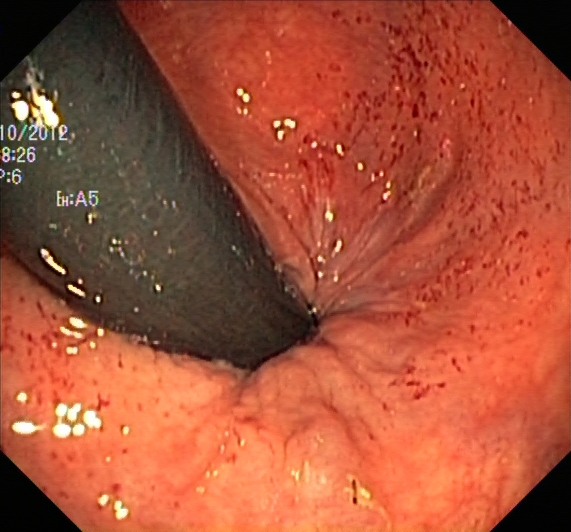{"modality": "lower gastrointestinal endoscopy", "finding": "rectum in retroflexion"}